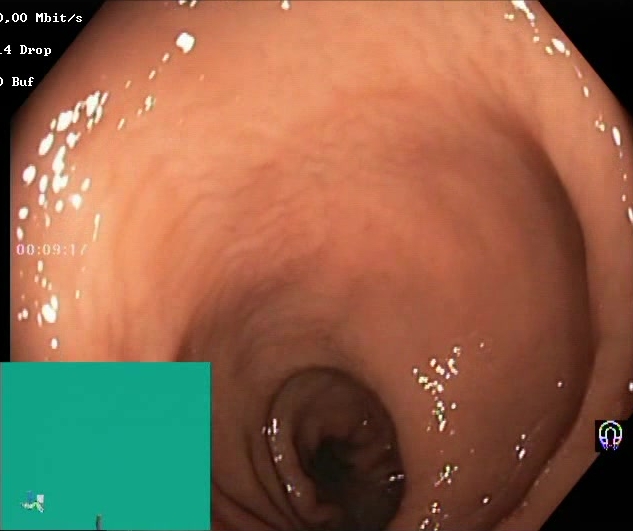PROCEDURE: Colonoscopy.
FINDINGS: BBPS score 2–3 (adequate preparation).